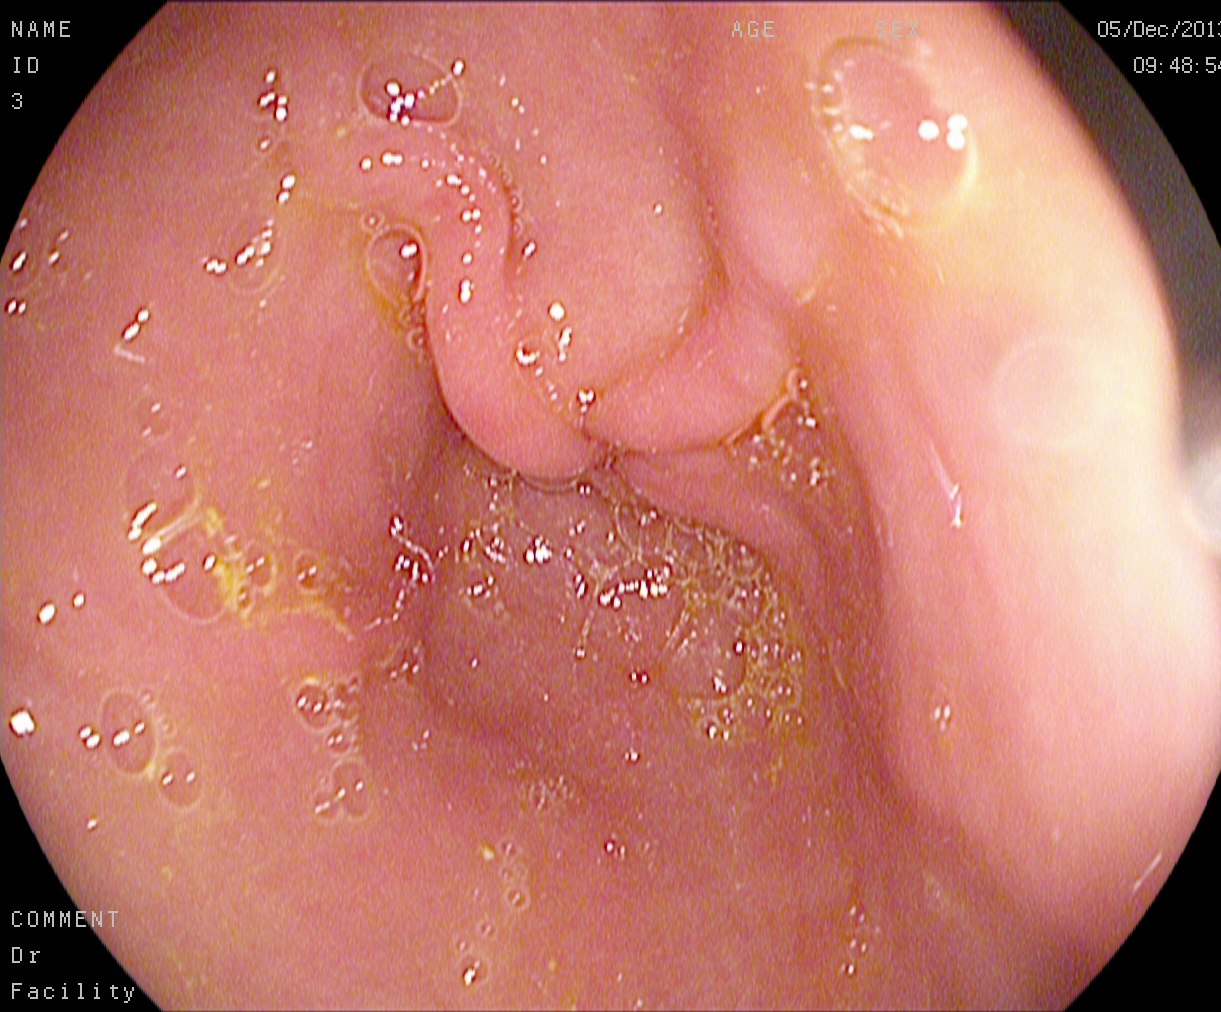Pylorus.